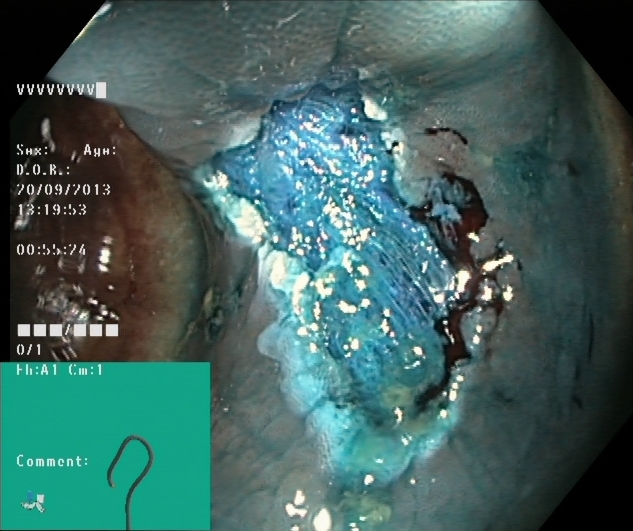This endoscopy frame of the lower GI tract shows dyed resection margins (post-polypectomy).